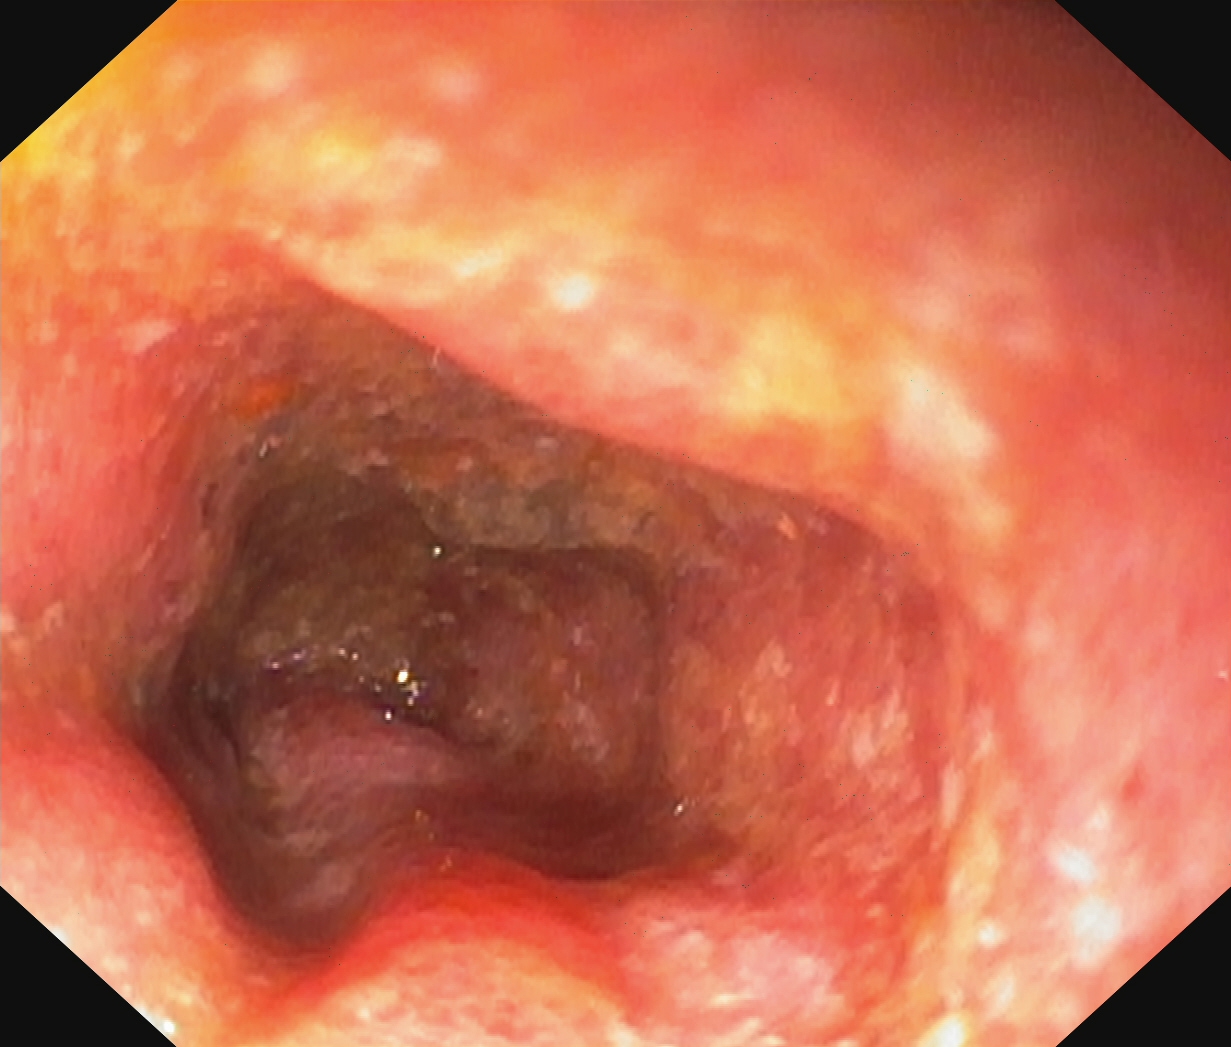PROCEDURE: Lower gastrointestinal endoscopy.
FINDINGS: UC, Mayo endoscopic subscore 2.